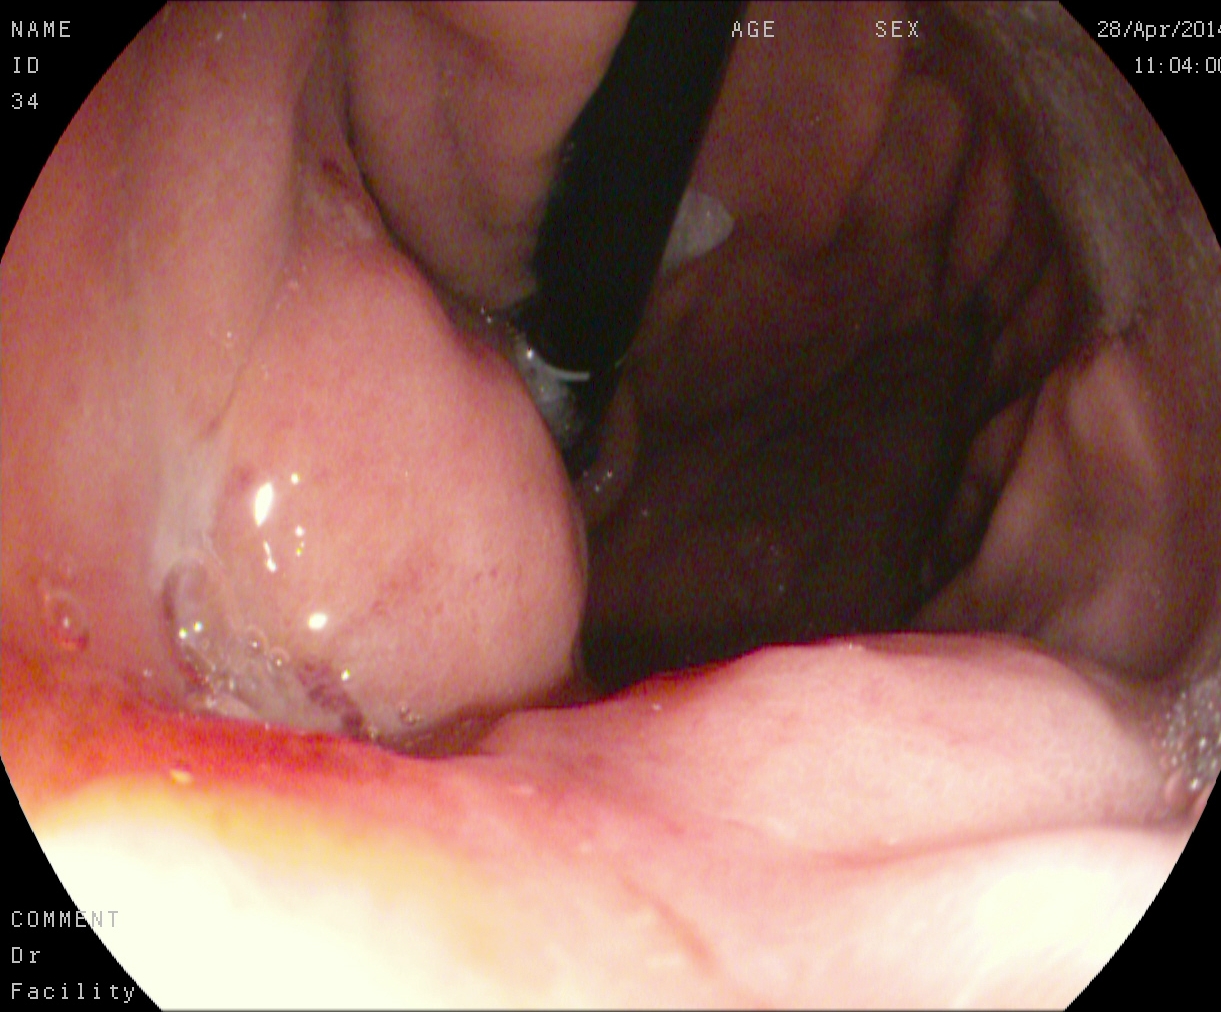stomach in retroflexion.